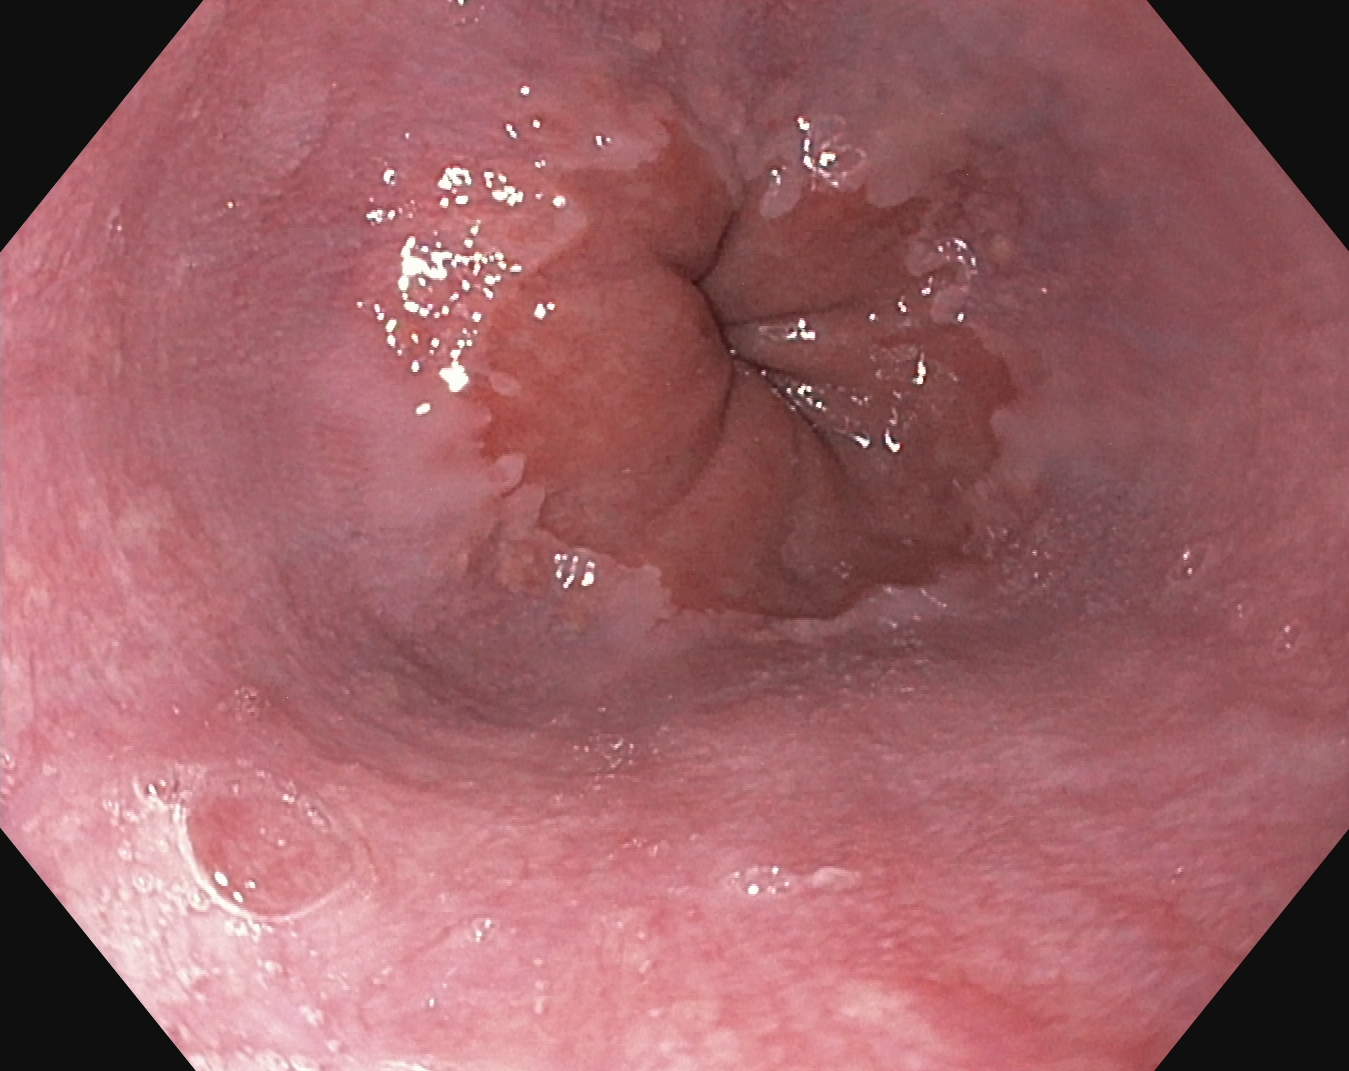Upper-GI endoscopy image of the upper GI tract showing Z-line (gastroesophageal junction).